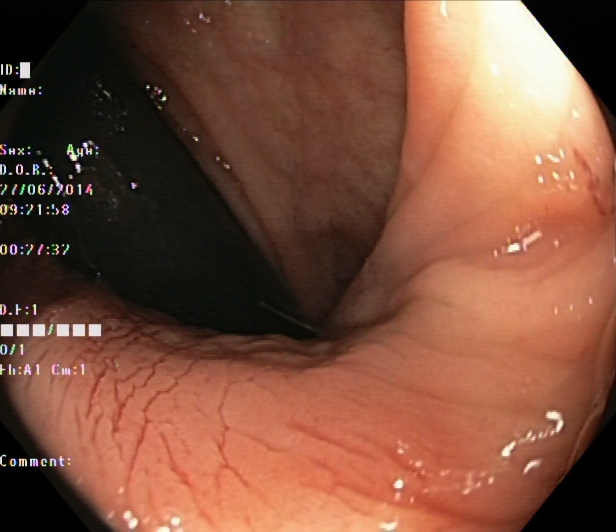{"modality": "lower gastrointestinal endoscopy", "tract": "lower GI tract", "finding": "rectum in retroflexion"}